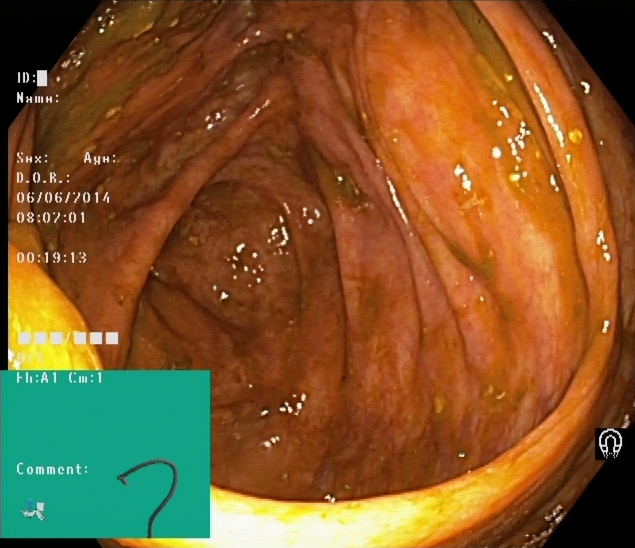Lower-GI endoscopy. Tract: lower GI tract. Anatomical landmark. Finding: cecum.